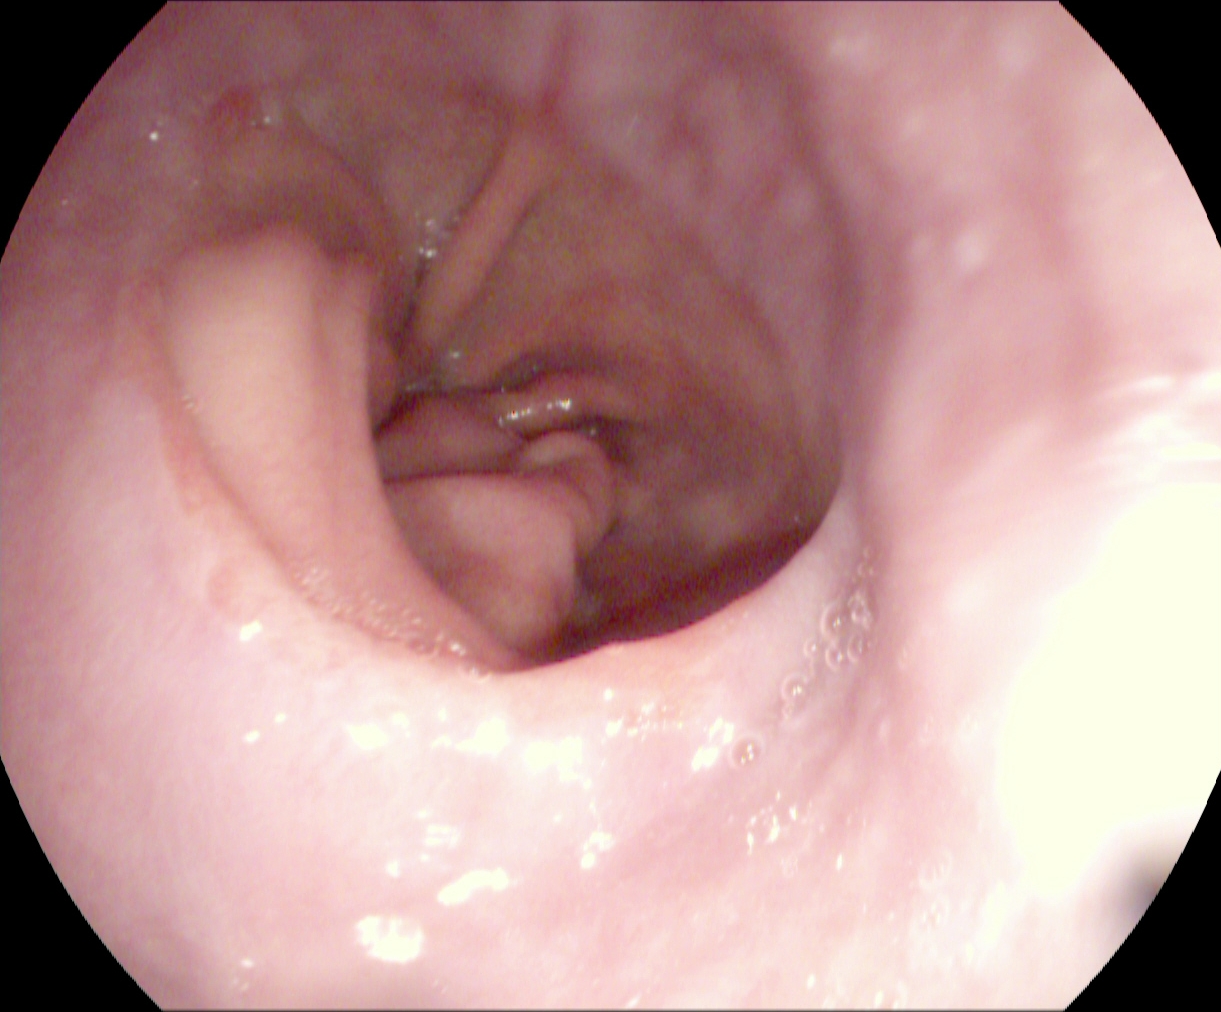Endoscopic image showing reflux esophagitis, Los Angeles grade A.